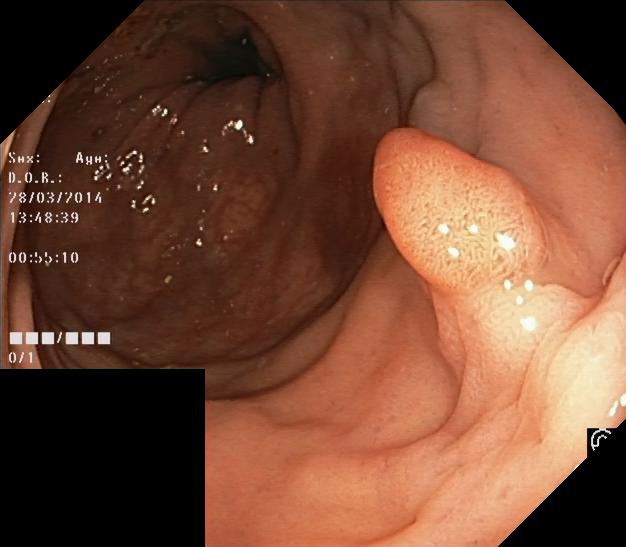This endoscopic image shows colorectal polyp(s).